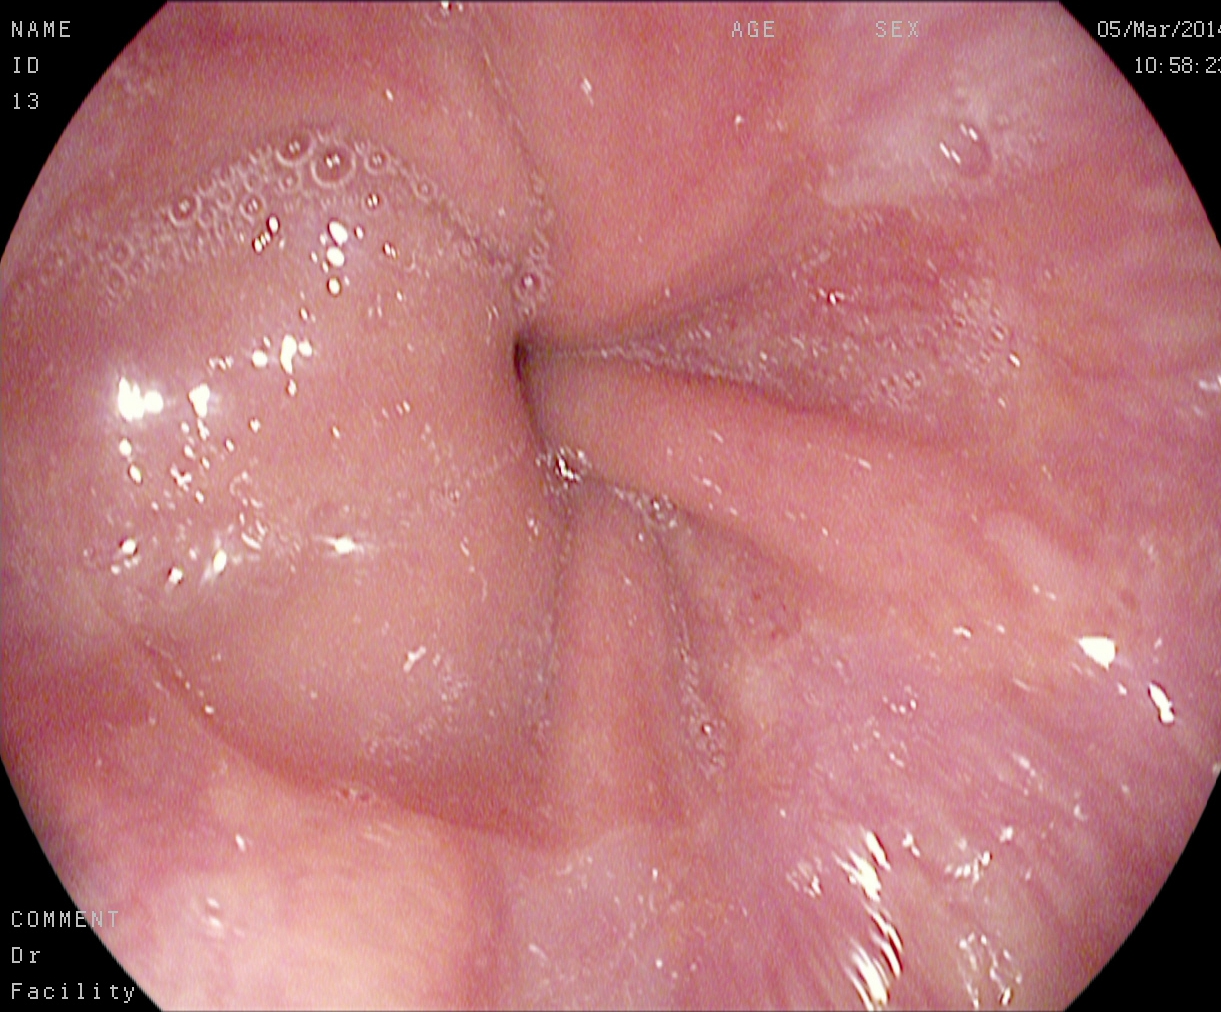Z-line (gastroesophageal junction).